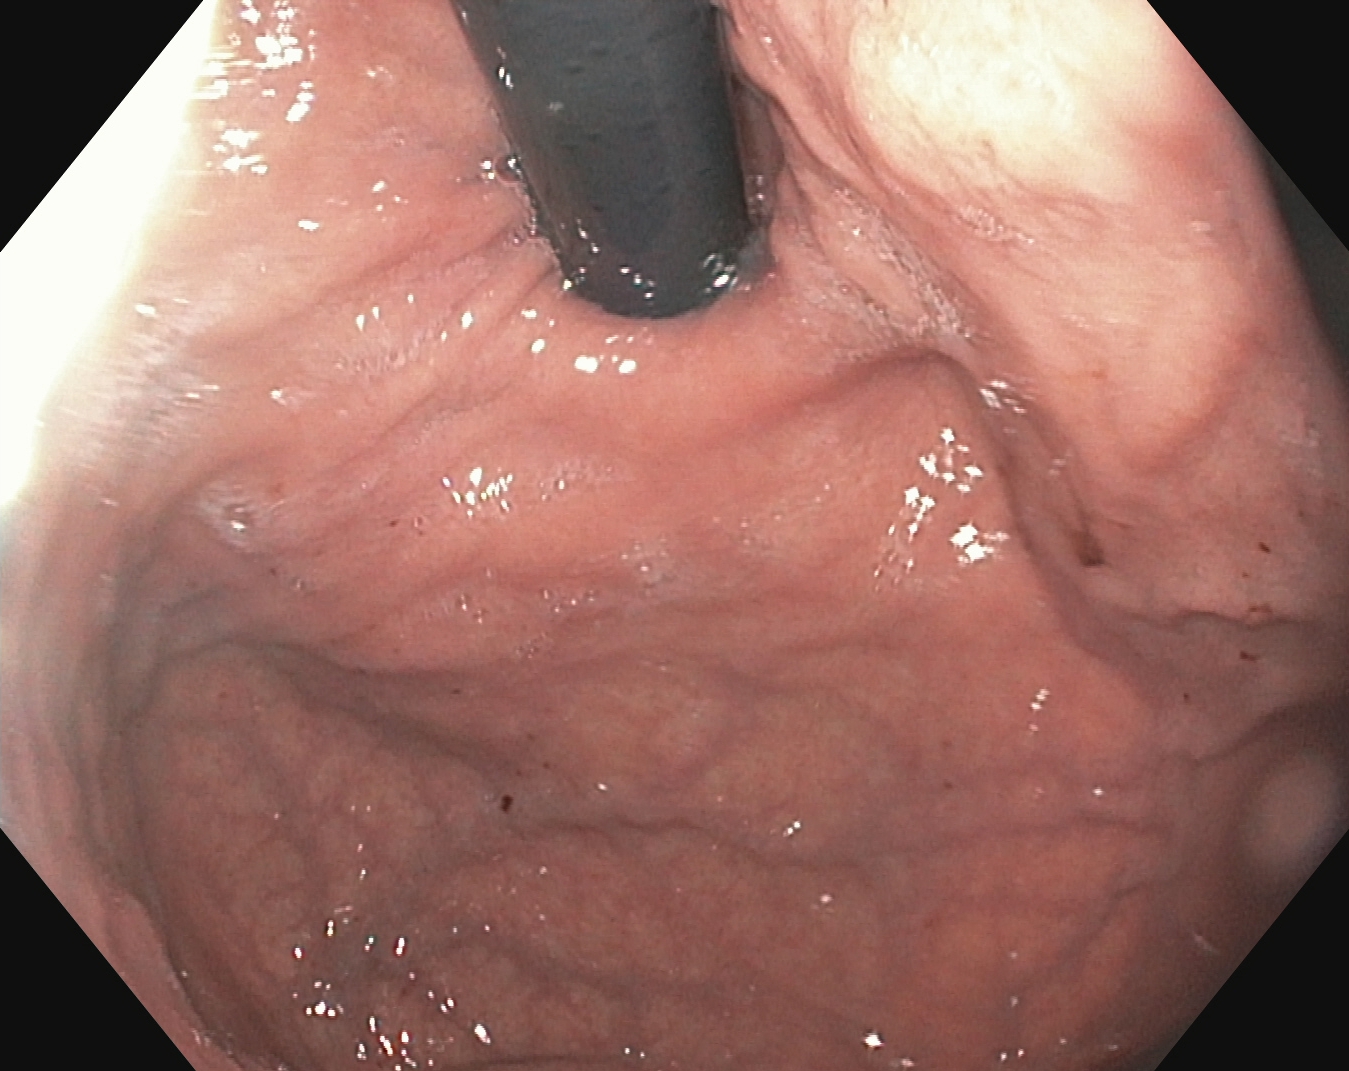PROCEDURE: EGD.
FINDINGS: Stomach in retroflexion.